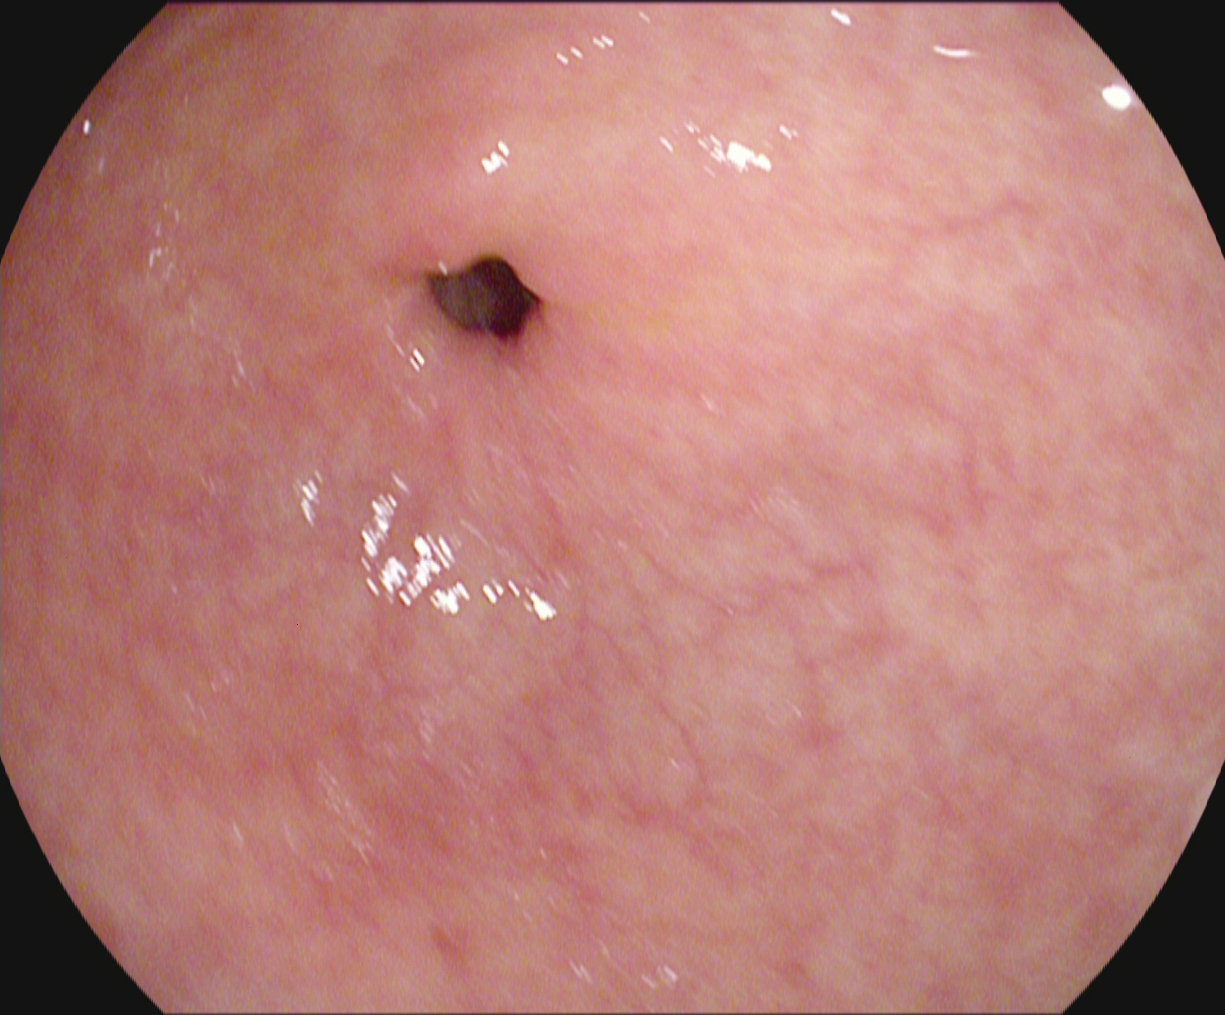Esophagogastroduodenoscopy. Tract: upper GI tract. Anatomical landmark. Finding: pylorus.